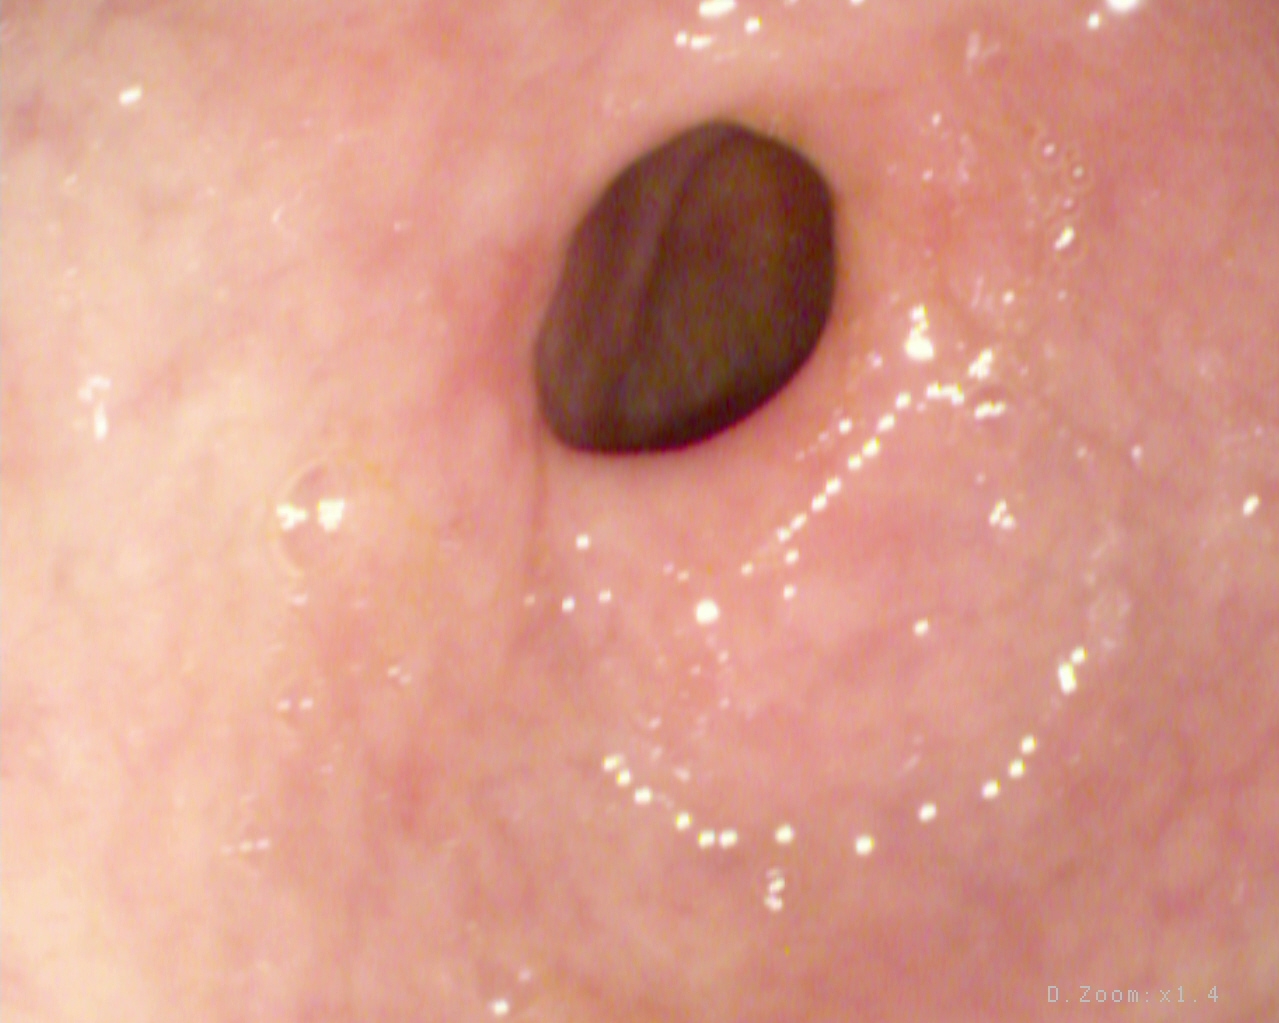This endoscopic image of the upper GI tract shows pylorus.